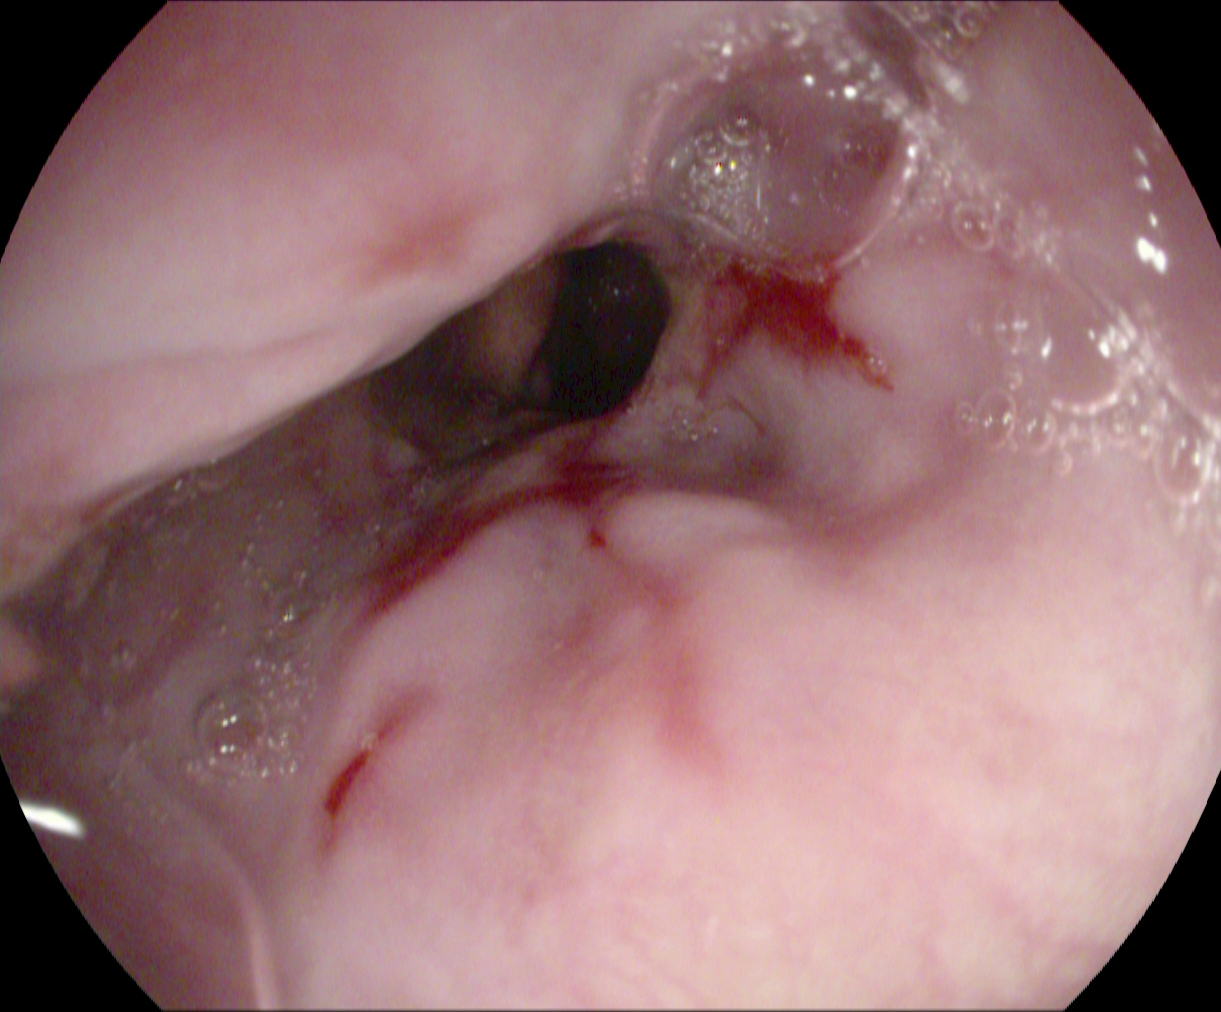PROCEDURE: Esophagogastroduodenoscopy.
CATEGORY: Pathological finding.
FINDINGS: Reflux esophagitis, Los Angeles grade B–D.